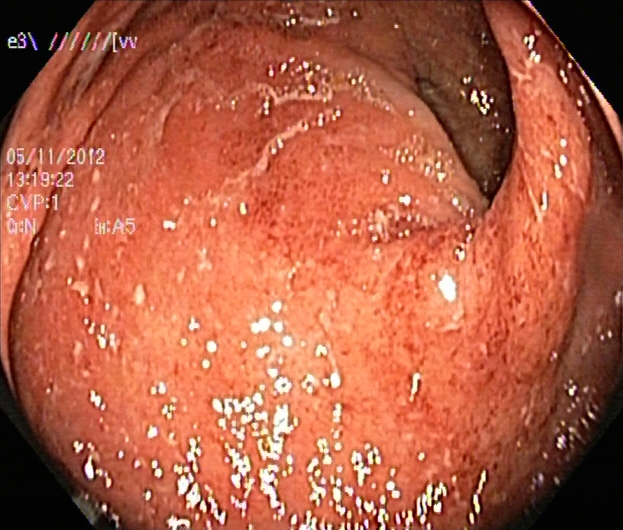PROCEDURE: Colonoscopy.
CATEGORY: Pathological finding.
FINDINGS: UC, Mayo endoscopic subscore 2.